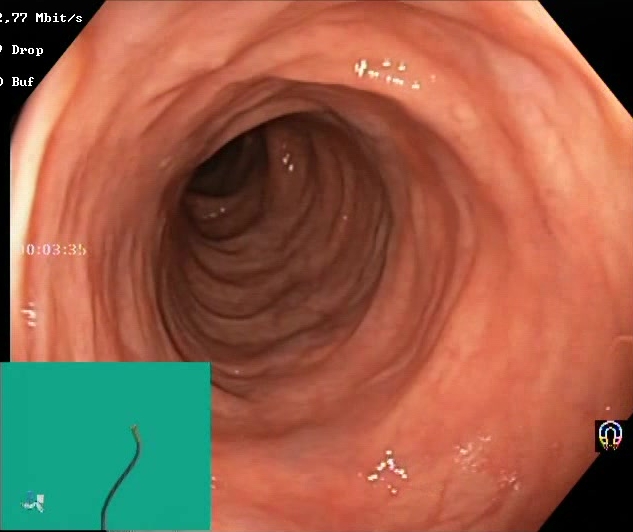Boston Bowel Preparation Scale score 2–3 (adequate preparation).